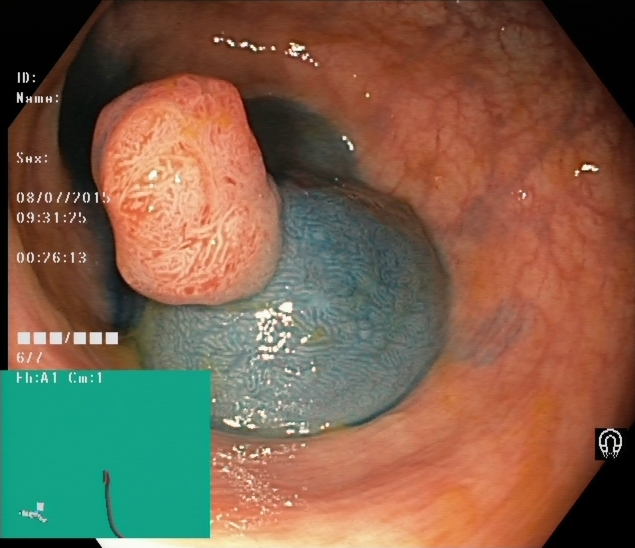Lower-GI endoscopy — dyed and lifted polyp (pre-resection).